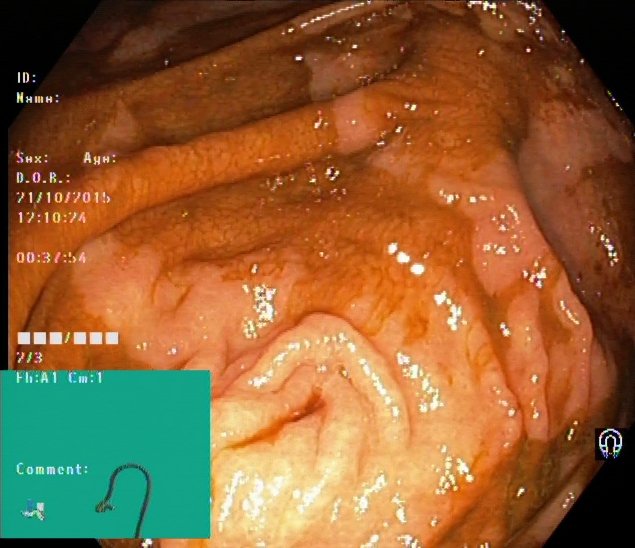GI endoscopy image of the lower GI tract showing cecum.